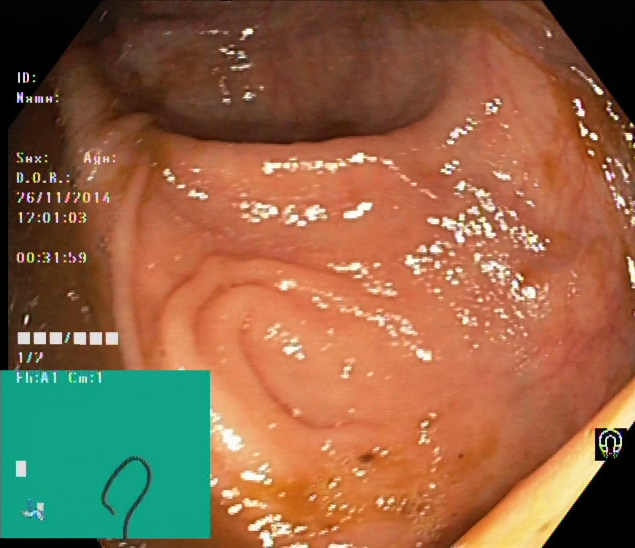Lower-GI endoscopy — cecum.